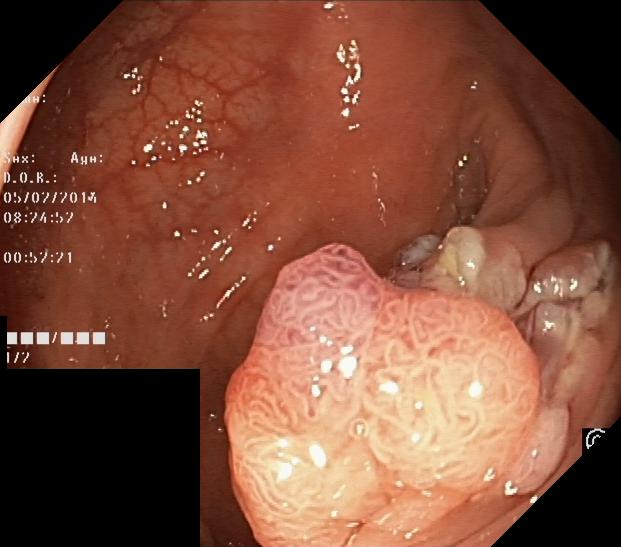Endoscopic frame showing colorectal polyp(s).